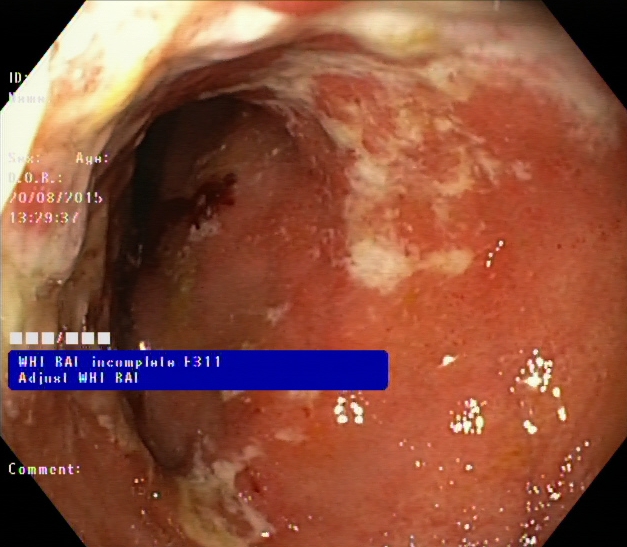Lower gastrointestinal endoscopy — ulcerative colitis, Mayo endoscopic subscore 2.